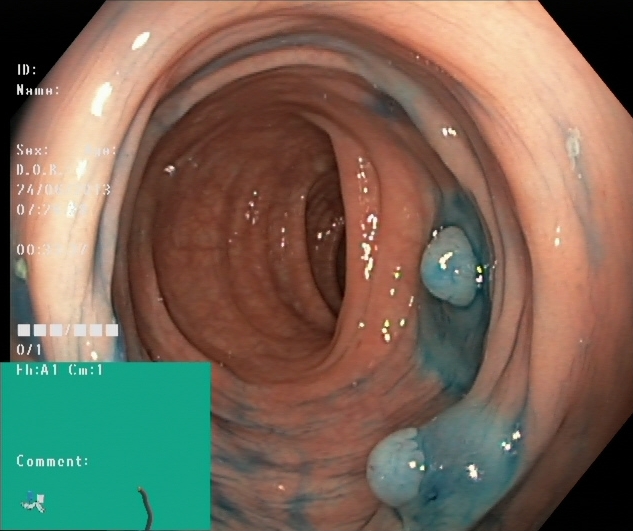This endoscopy frame shows dyed and lifted polyp (pre-resection).